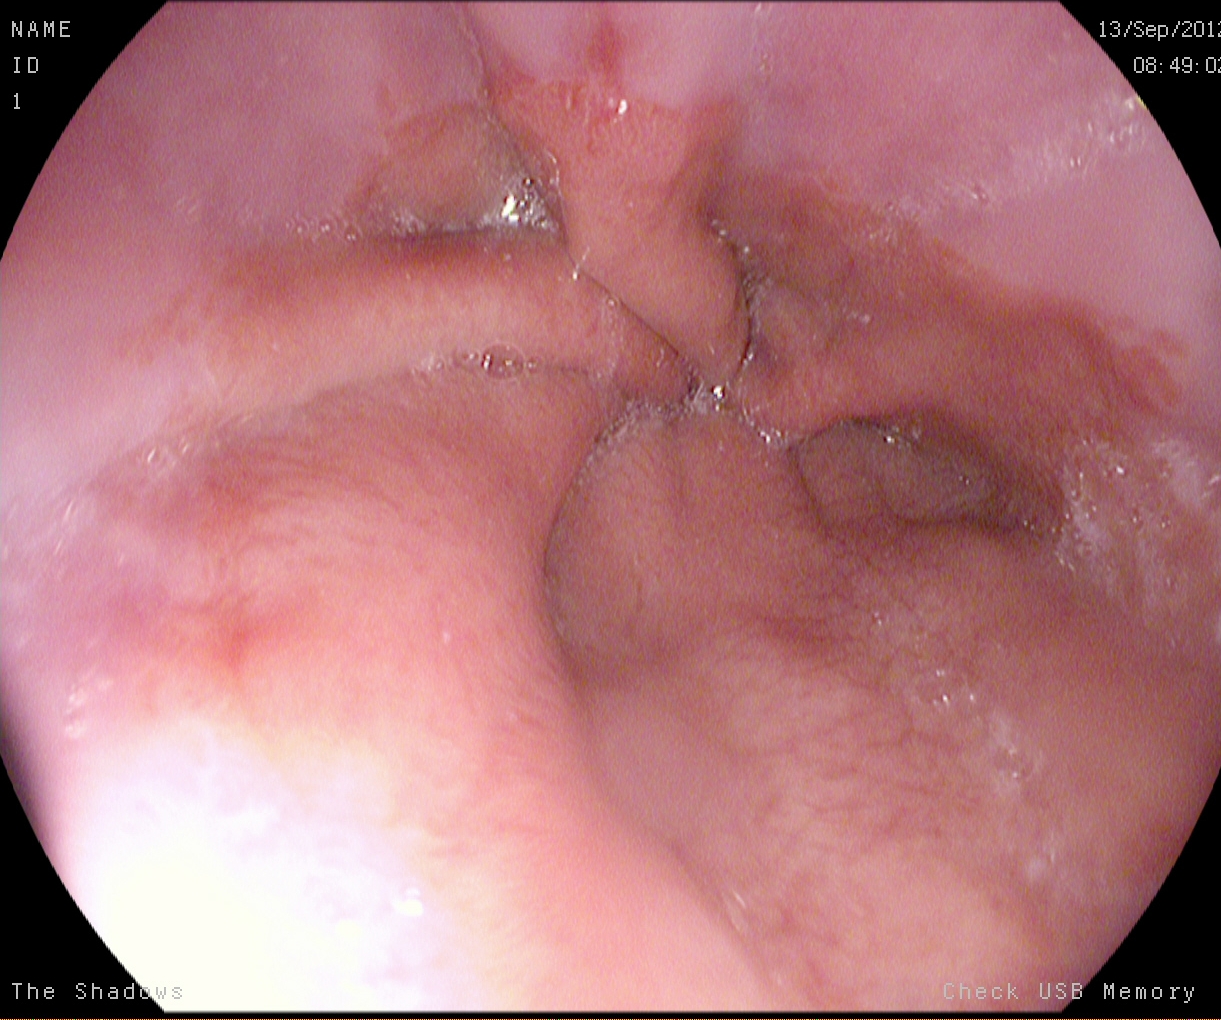PROCEDURE: Gastroscopy.
FINDINGS: Reflux esophagitis, Los Angeles grade A.